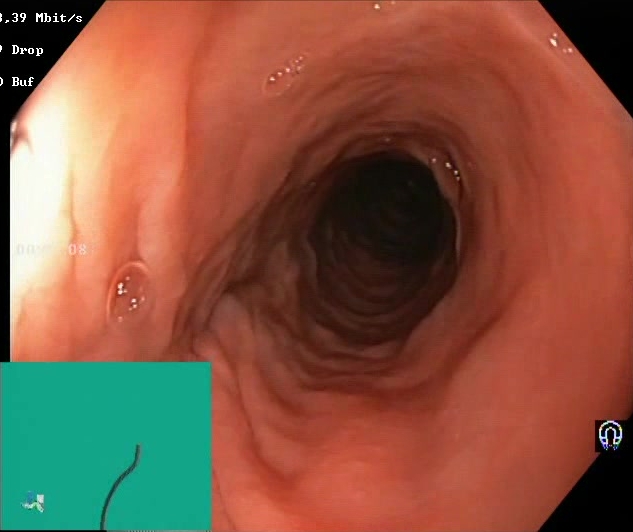Lower-GI endoscopy image of the lower GI tract showing Boston Bowel Preparation Scale score 2–3 (adequate preparation).